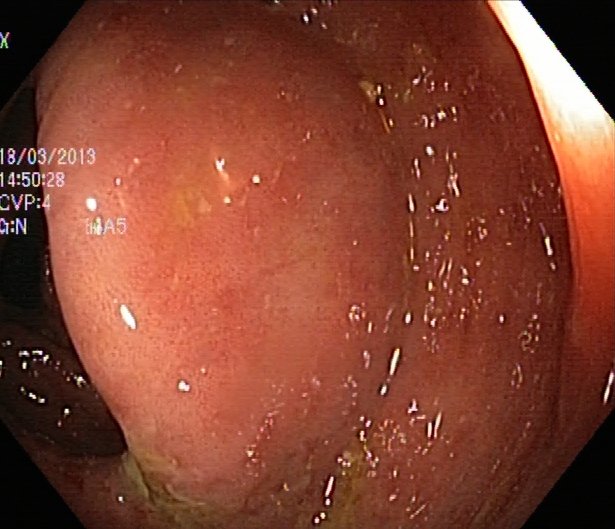{"modality": "lower-GI endoscopy", "tract": "lower GI tract", "category": "pathological finding", "finding": "UC, Mayo endoscopic subscore 2"}